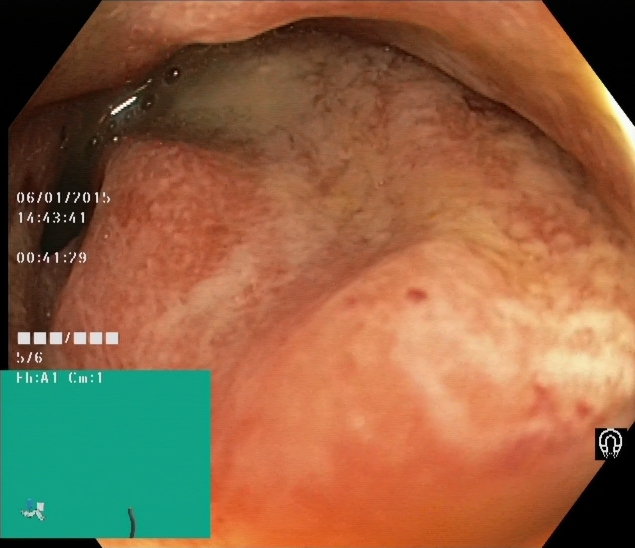Lower gastrointestinal endoscopy. Finding: ulcerative colitis, Mayo endoscopic subscore 2.